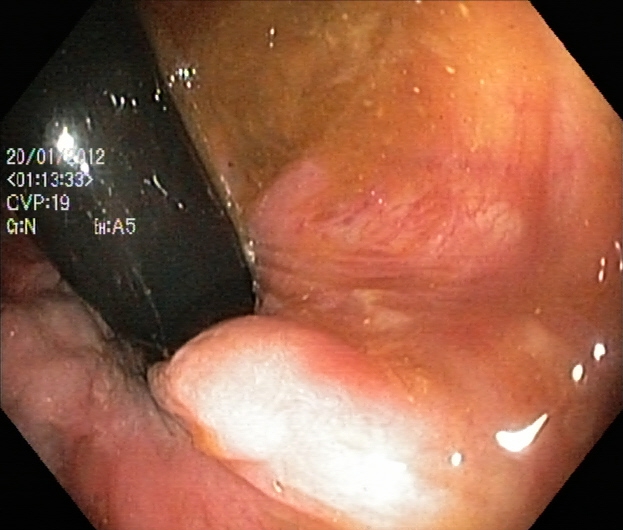Lower-GI endoscopy. Anatomical landmark. Finding: rectum in retroflexion.